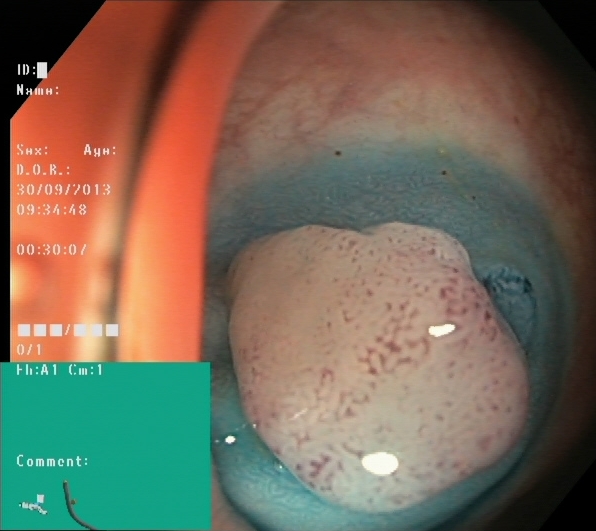Lower-GI endoscopy image showing dyed and lifted polyp (pre-resection).